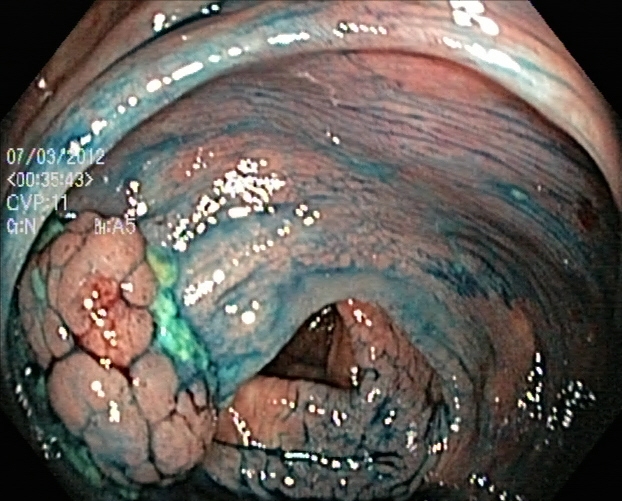{"modality": "lower gastrointestinal endoscopy", "tract": "lower GI tract", "finding": "dyed and lifted polyp (pre-resection)"}